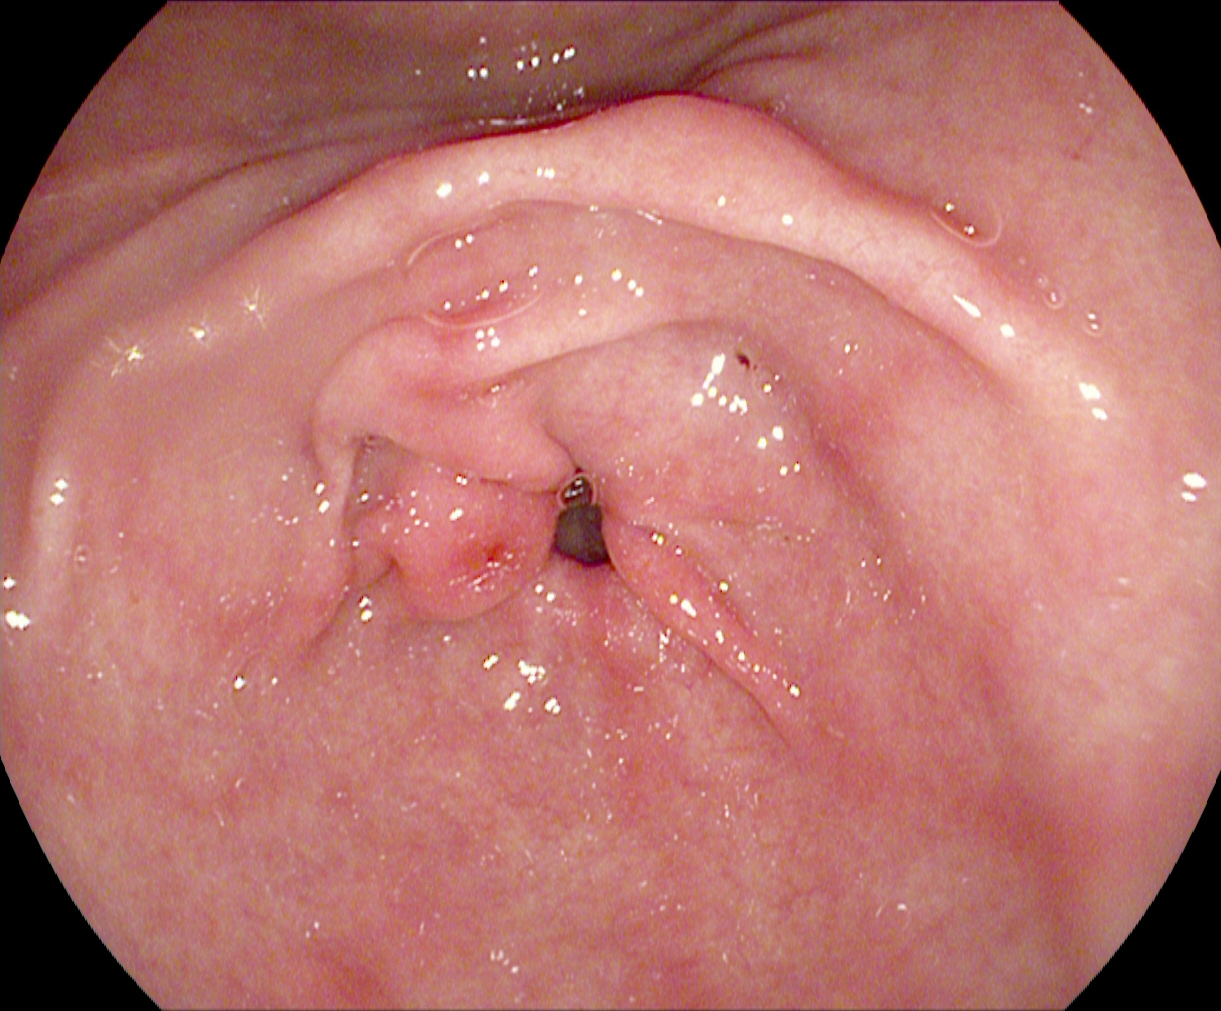PROCEDURE: Esophagogastroduodenoscopy.
FINDINGS: Pylorus.